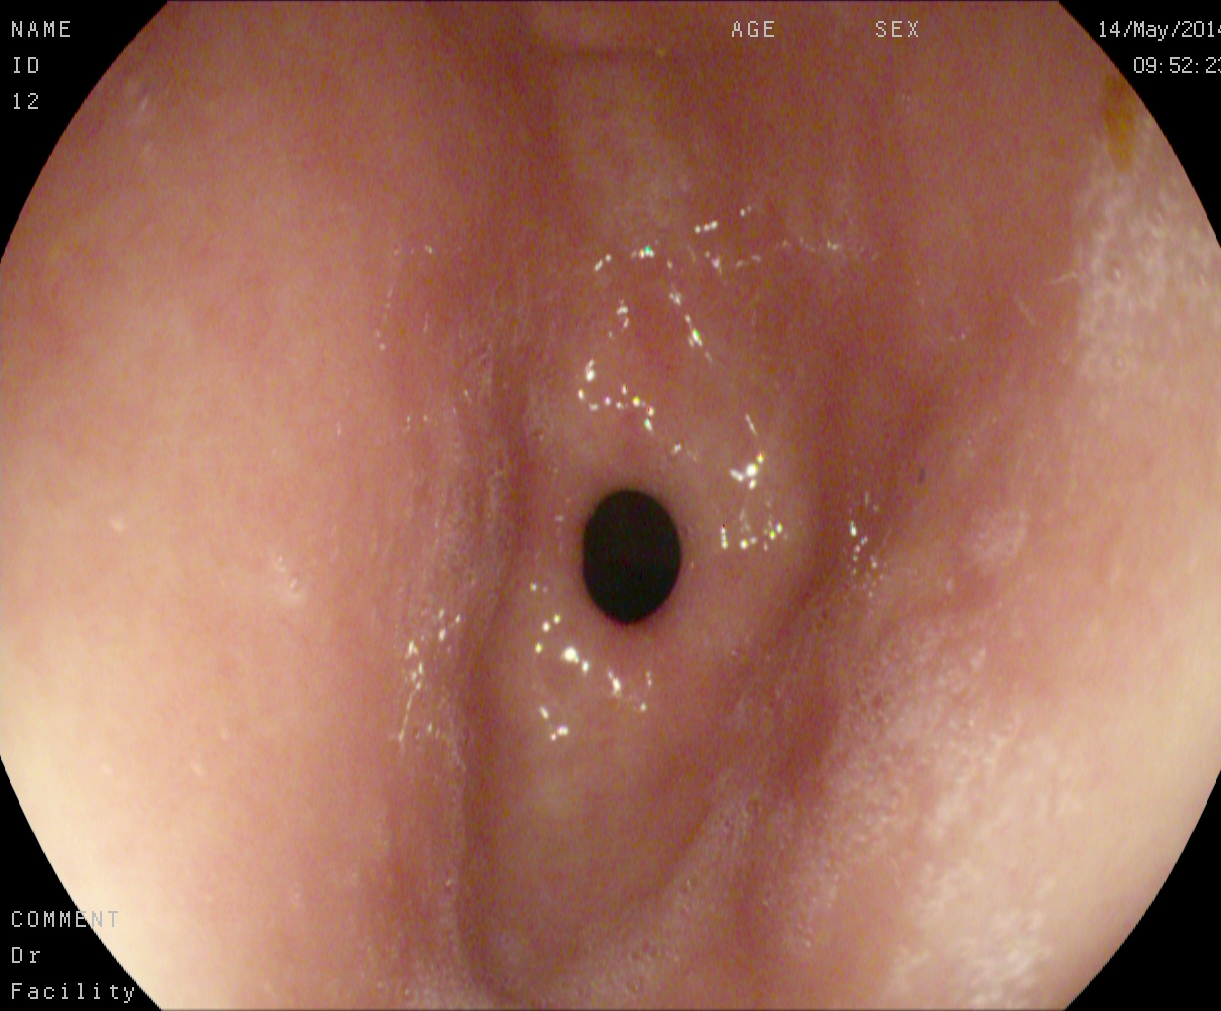{"modality": "upper-GI endoscopy", "tract": "upper GI tract", "finding": "pylorus"}